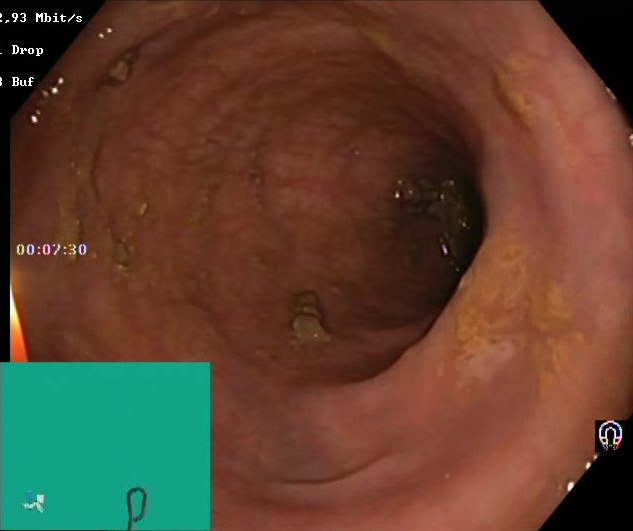Lower-GI endoscopy. Tract: lower GI tract. Mucosal-view quality. Finding: Boston Bowel Preparation Scale score 2–3 (adequate preparation).